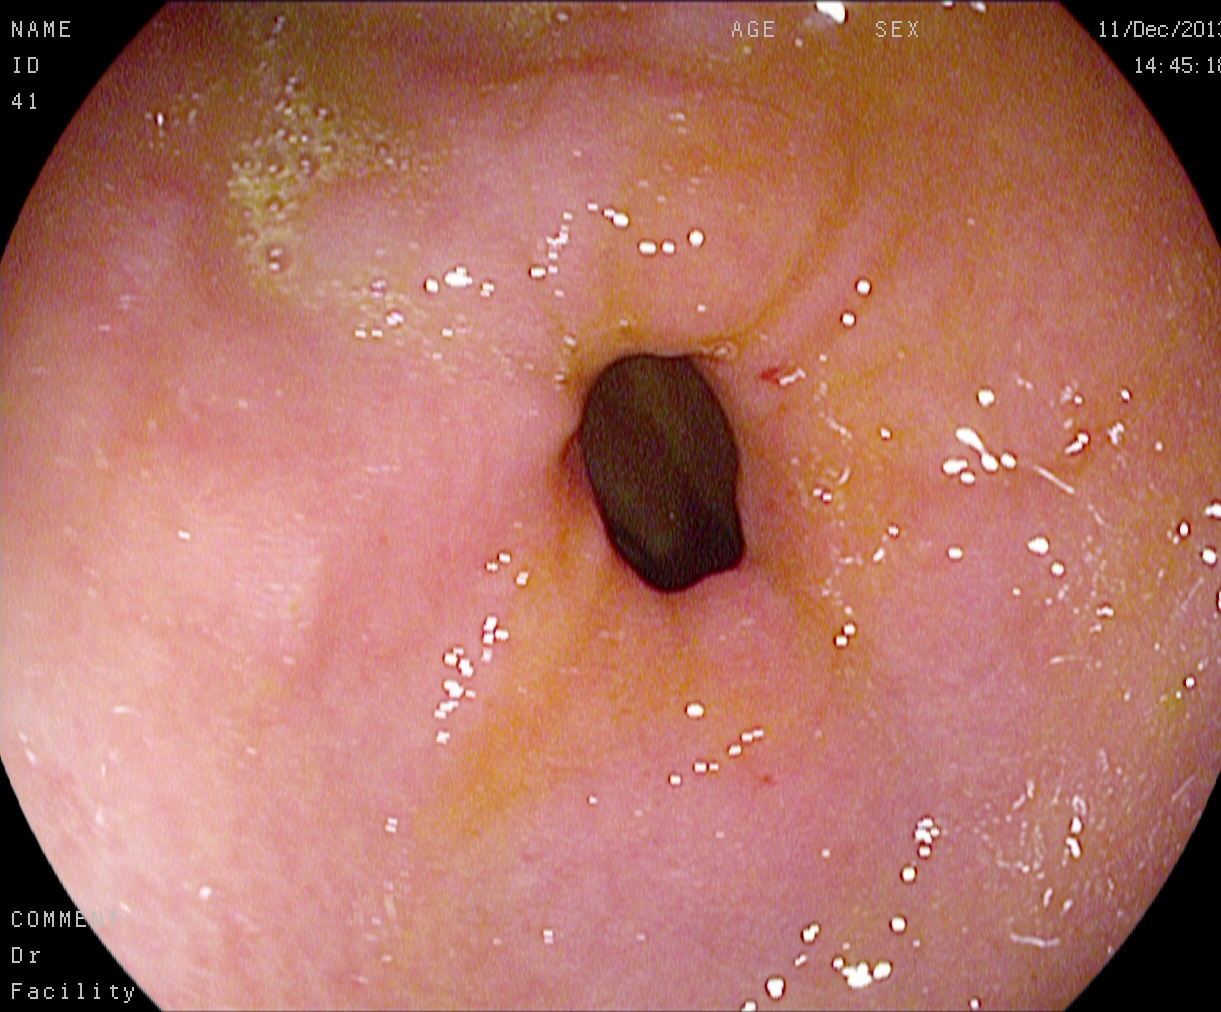This endoscopic image of the upper GI tract shows pylorus.